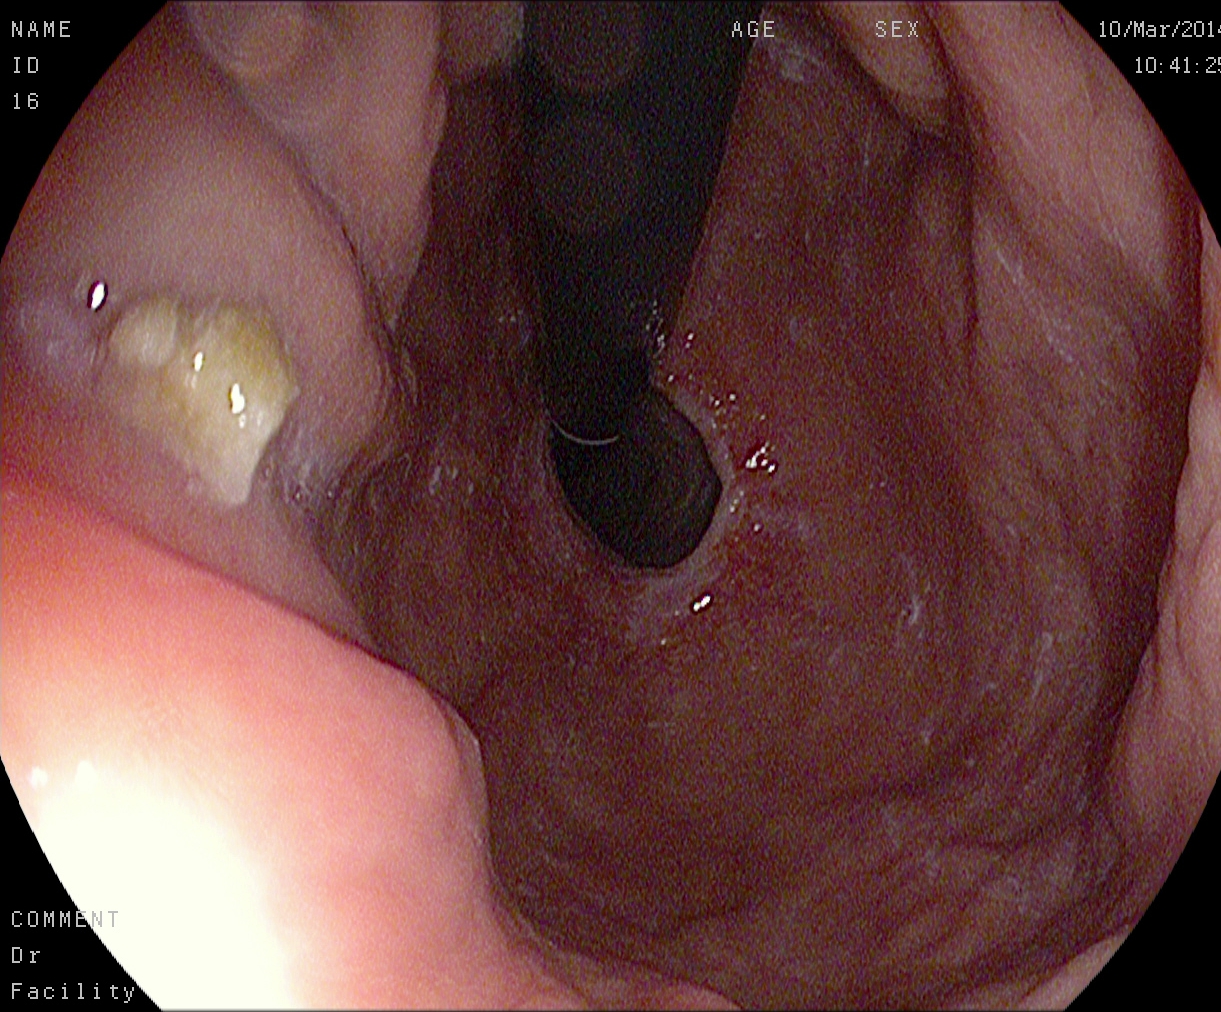stomach in retroflexion.